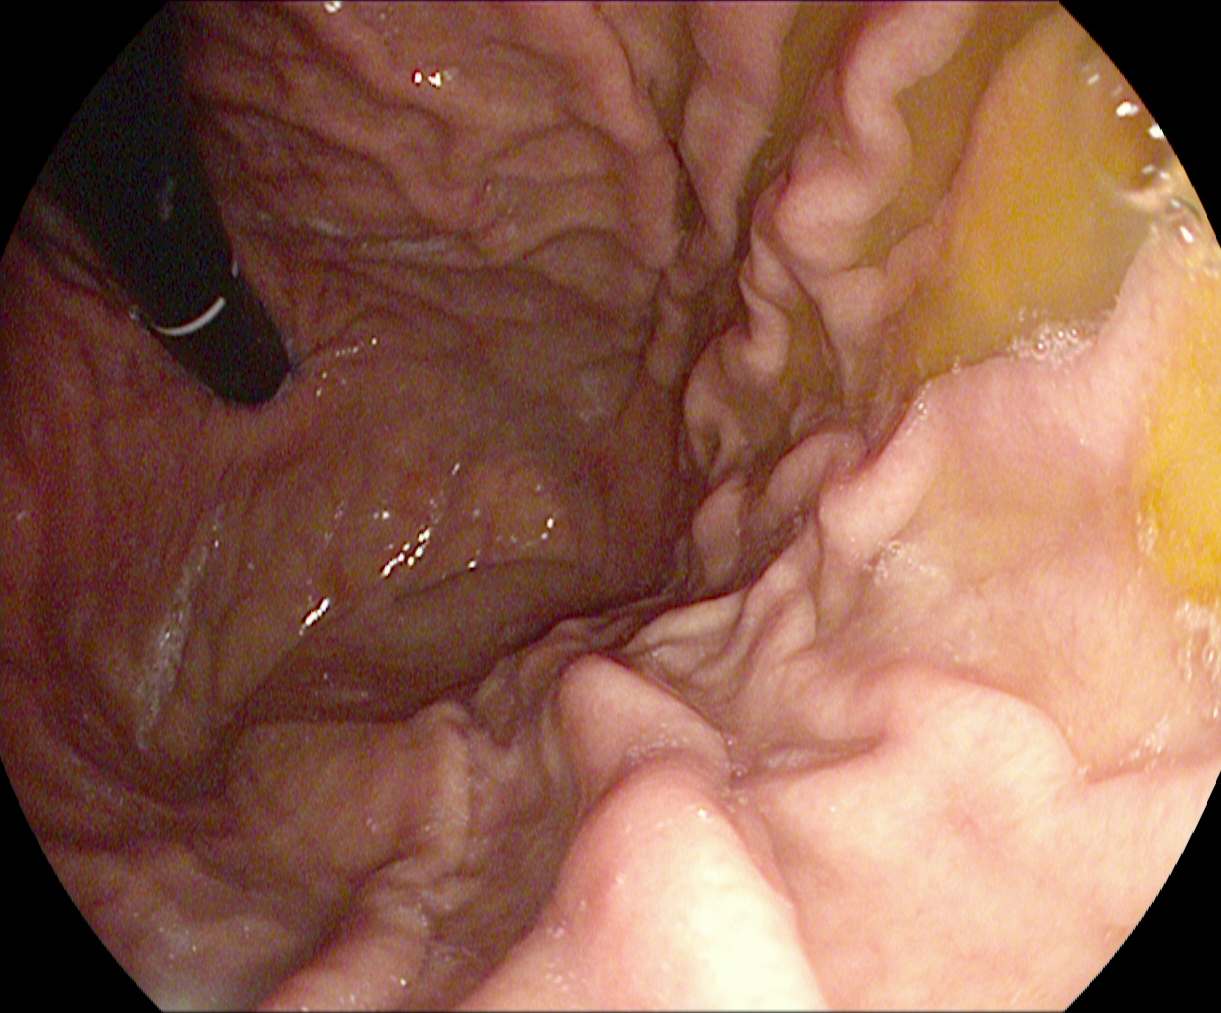{"modality": "esophagogastroduodenoscopy", "tract": "upper GI tract", "finding": "stomach in retroflexion"}